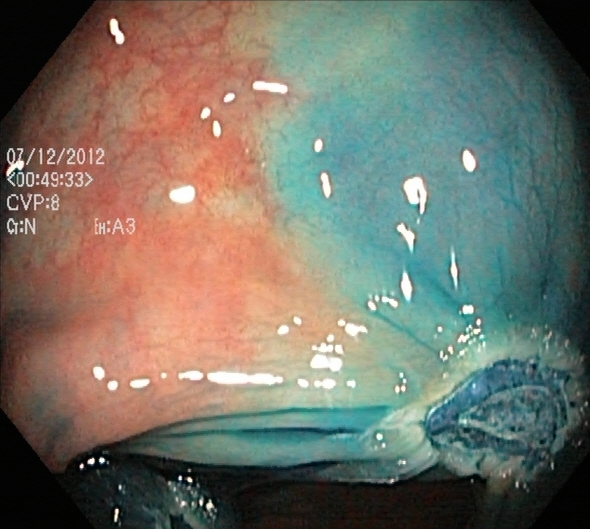Dyed resection margins (post-polypectomy).